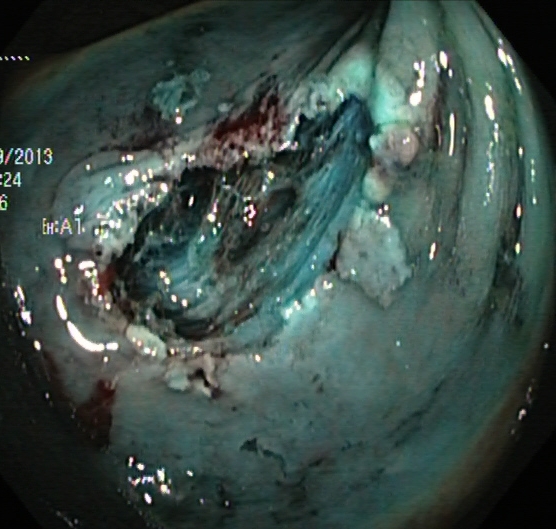Endoscopy image of the lower GI tract showing dyed resection margins (post-polypectomy).